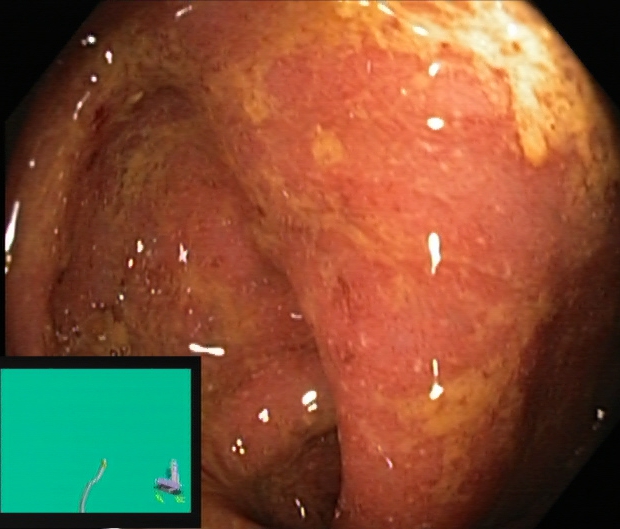Lower gastrointestinal endoscopy — UC, Mayo endoscopic subscore 2.